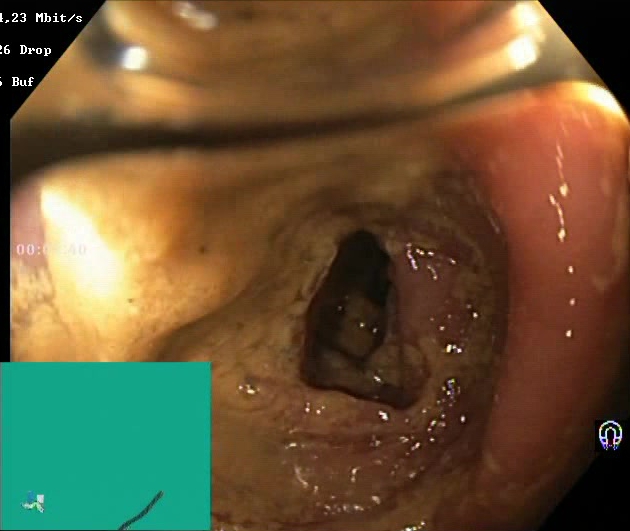Lower-GI endoscopy. Tract: lower GI tract. Mucosal-view quality. Finding: Boston Bowel Preparation Scale score 0–1 (inadequate preparation).